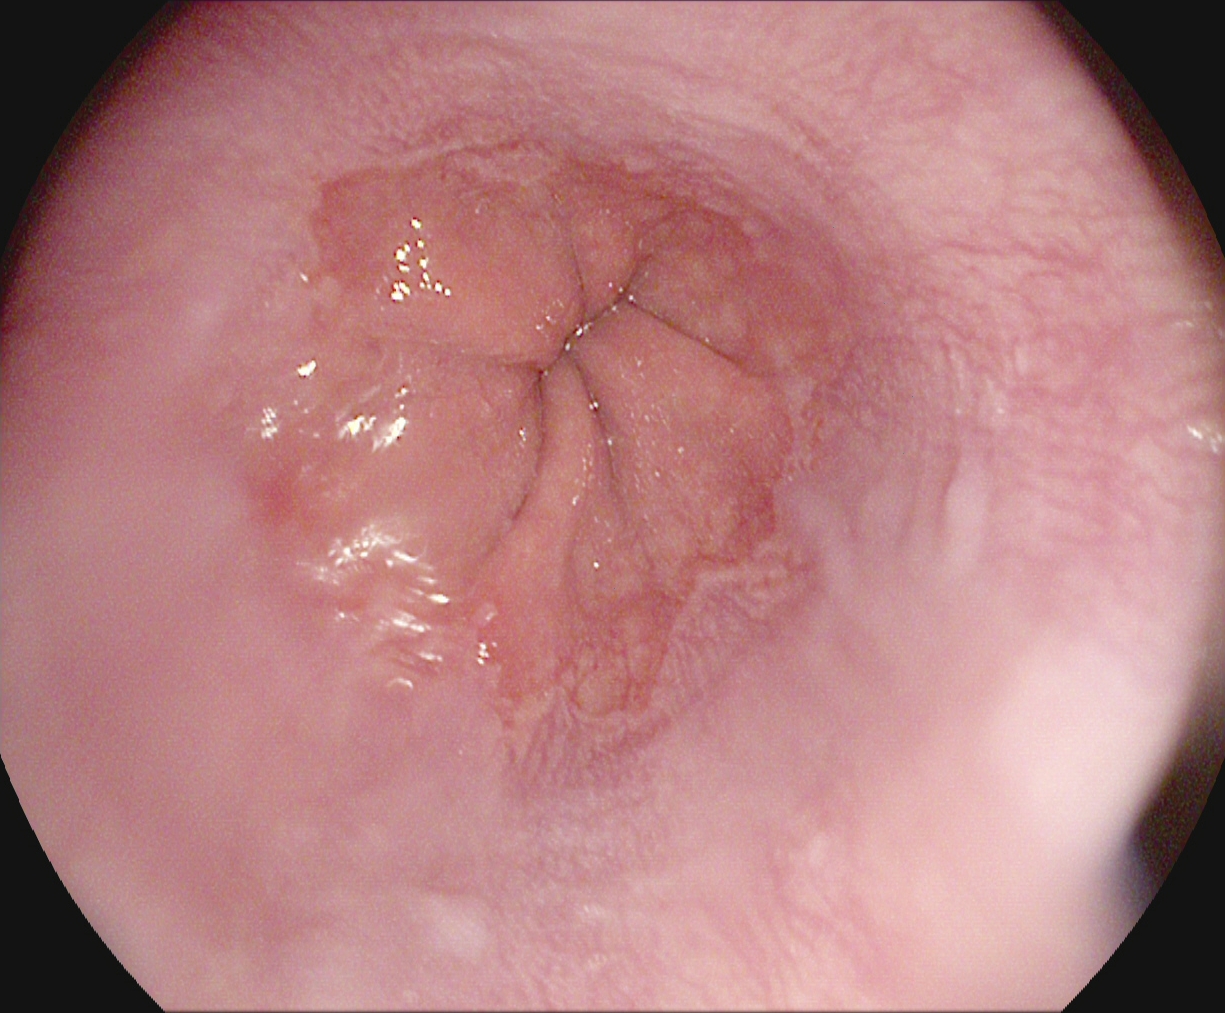Z-line (gastroesophageal junction).